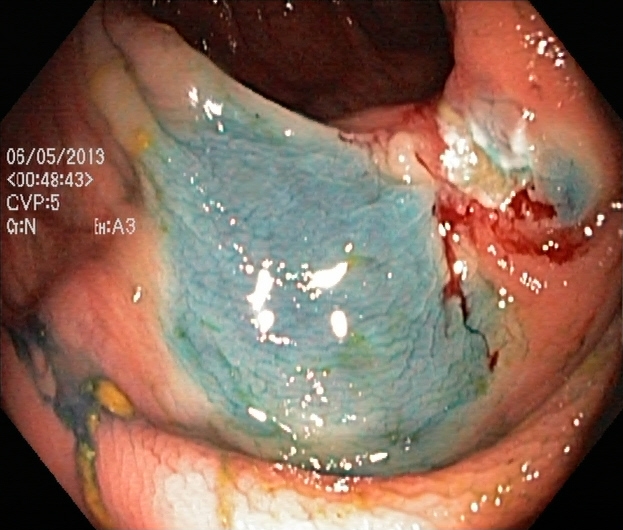Lower-GI endoscopy — dyed resection margins (post-polypectomy).